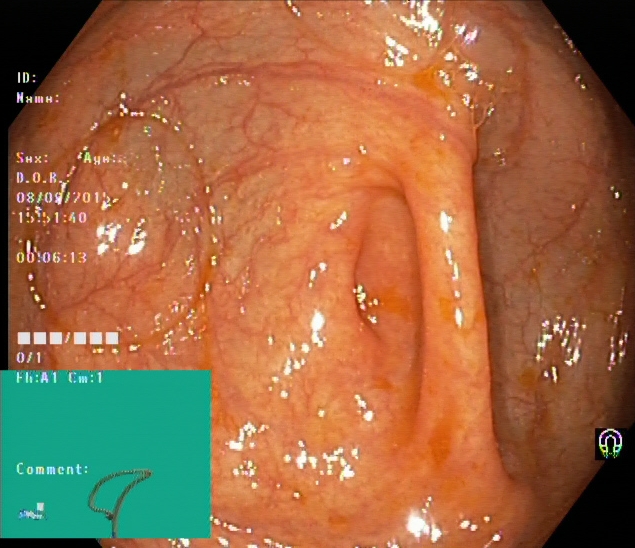{"modality": "colonoscopy", "tract": "lower GI tract", "category": "anatomical landmark", "finding": "cecum"}